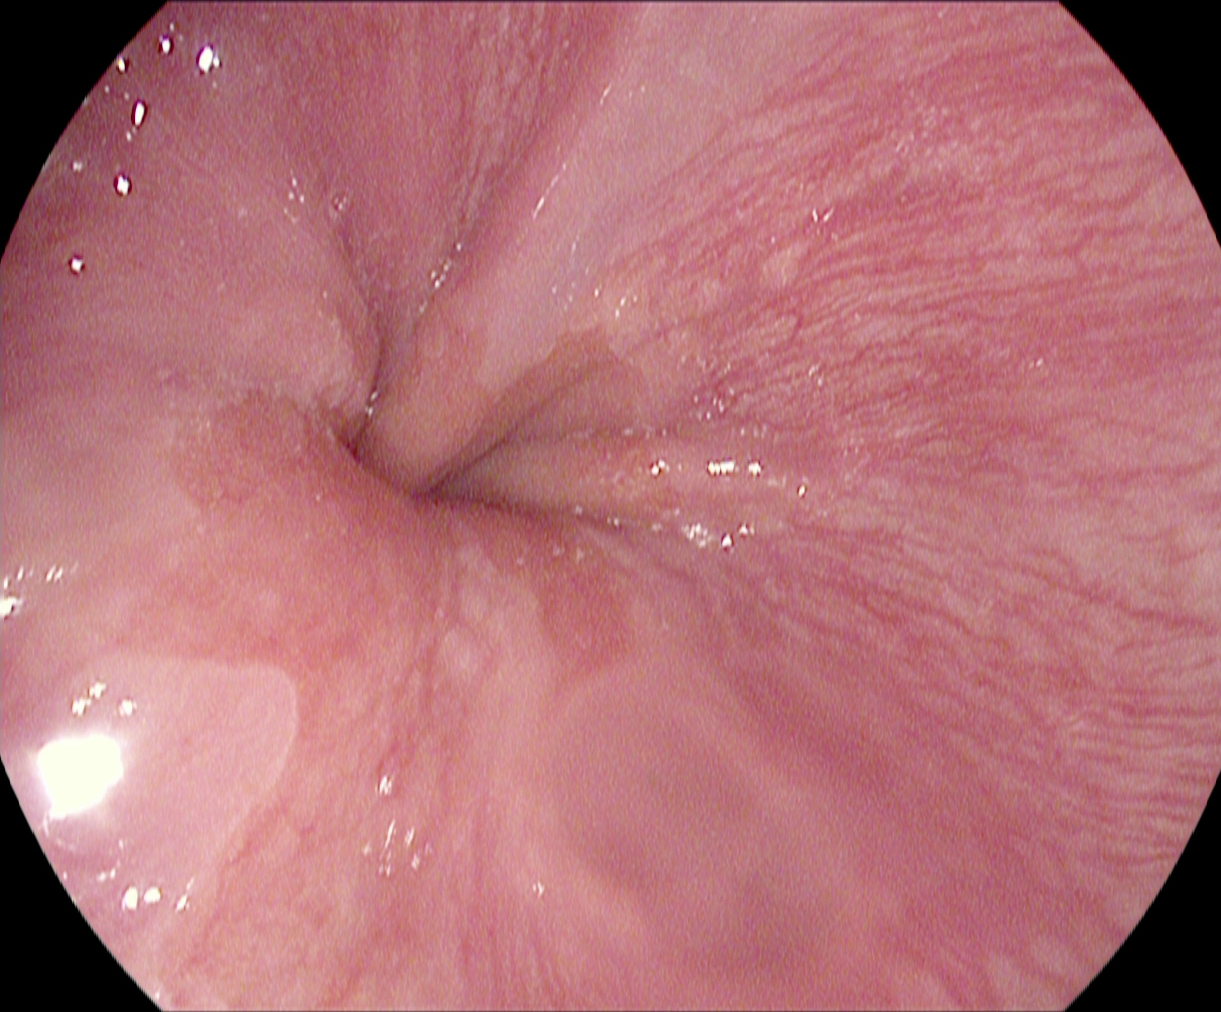Z-line (gastroesophageal junction).